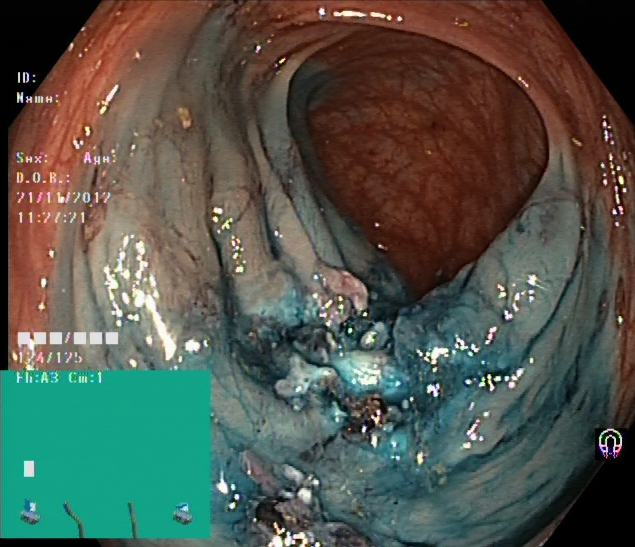{"modality": "lower-GI endoscopy", "finding": "dyed resection margins (post-polypectomy)"}